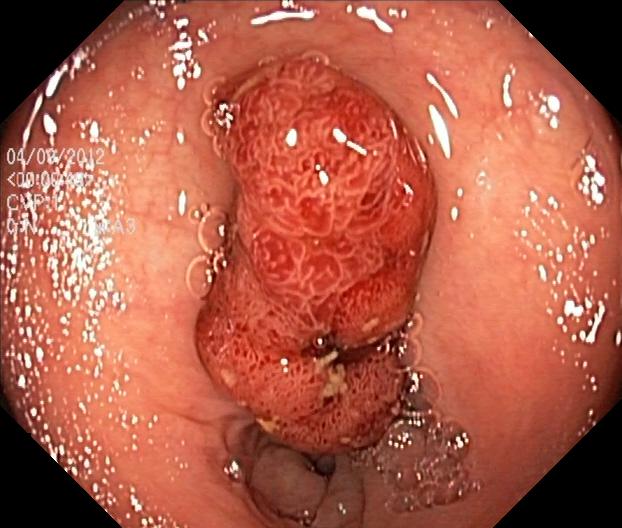This endoscopy frame shows colorectal polyp(s).